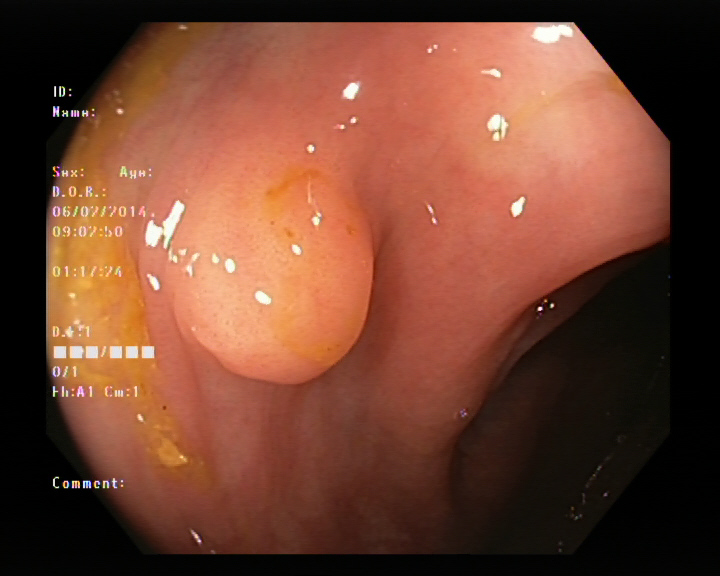Colorectal polyp(s).